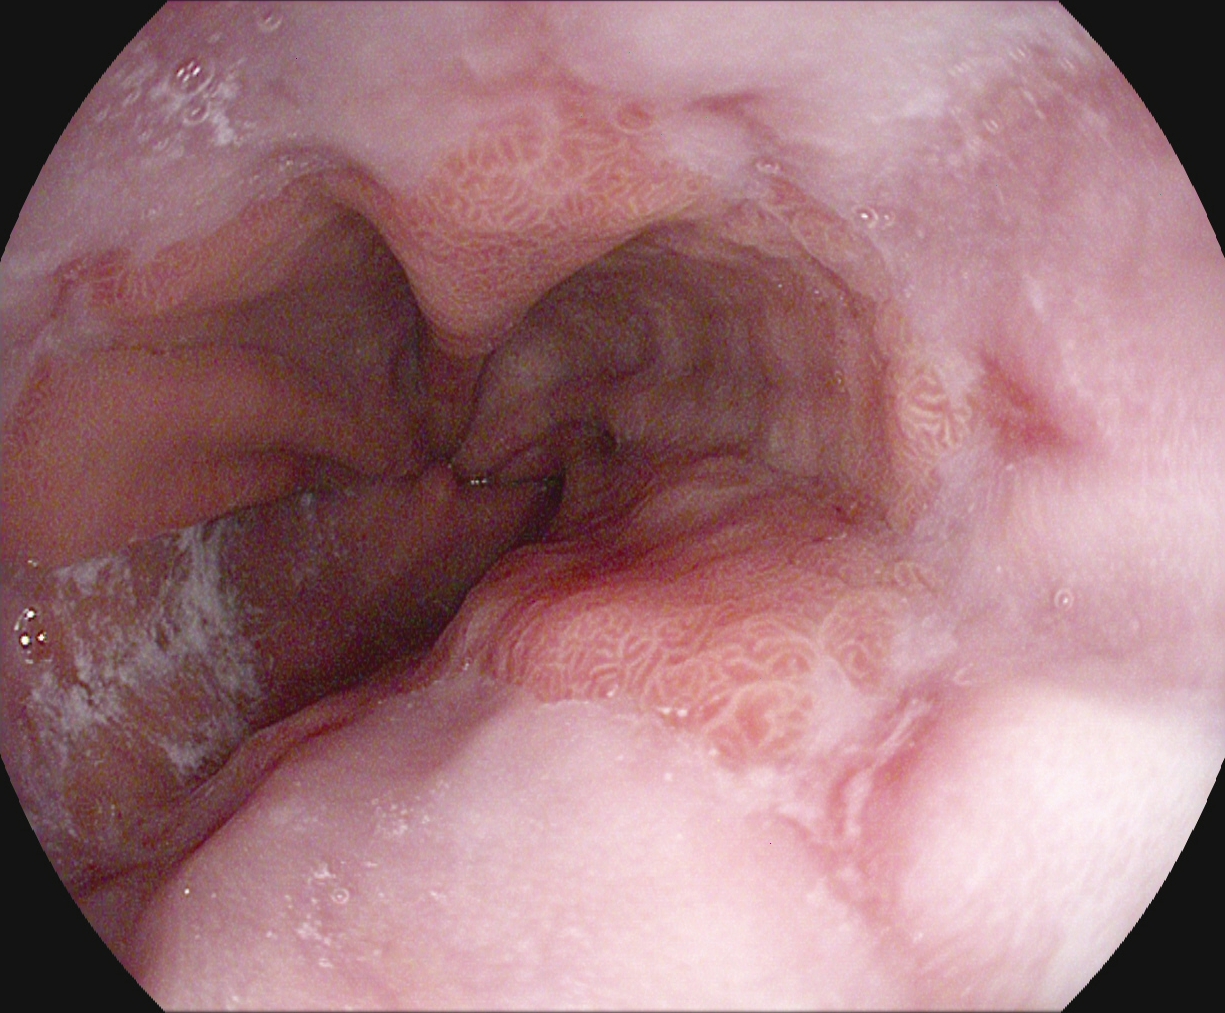GI endoscopy image of the upper GI tract showing reflux esophagitis, LA grade B–D.